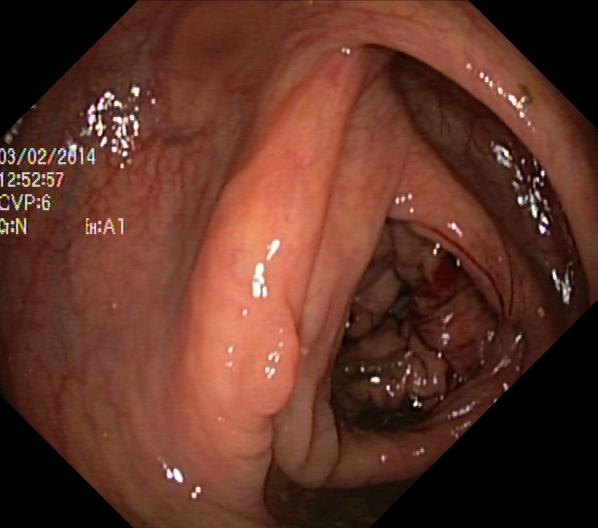modality: colonoscopy; finding: colorectal polyp(s)